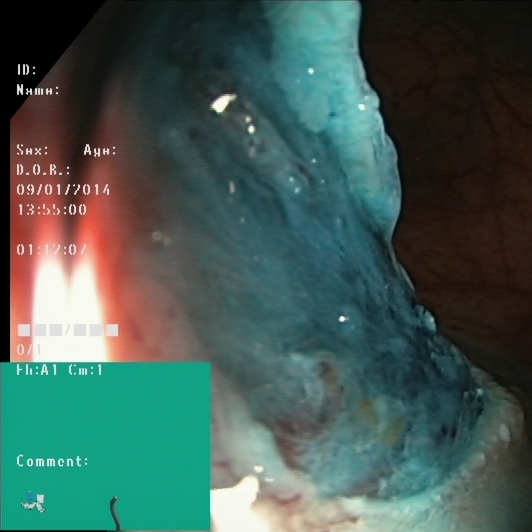Dyed resection margins (post-polypectomy).